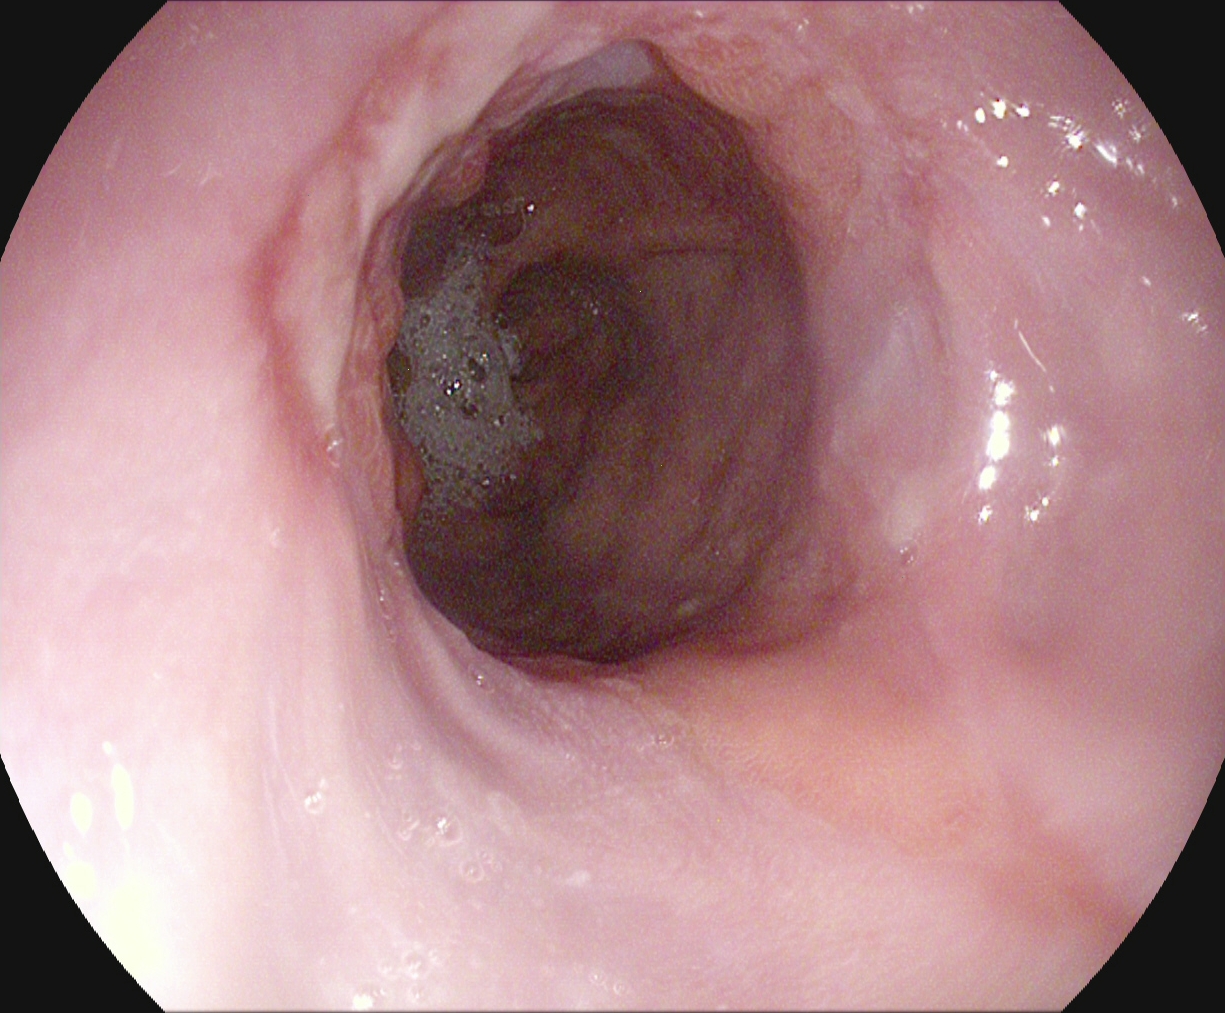GI endoscopy image showing reflux esophagitis, Los Angeles grade B–D.